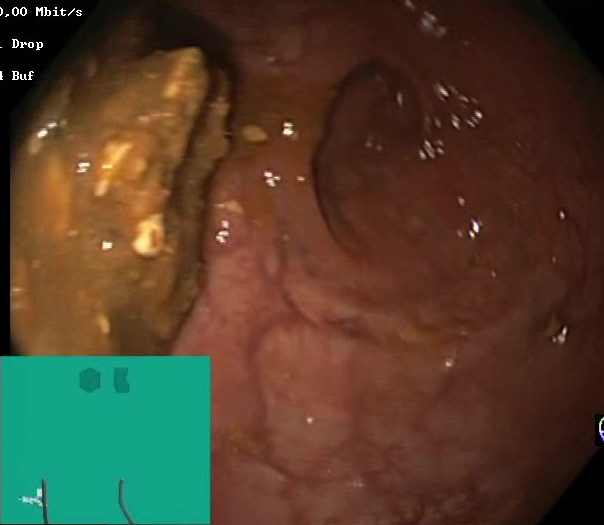Boston Bowel Preparation Scale score 0–1 (inadequate preparation).